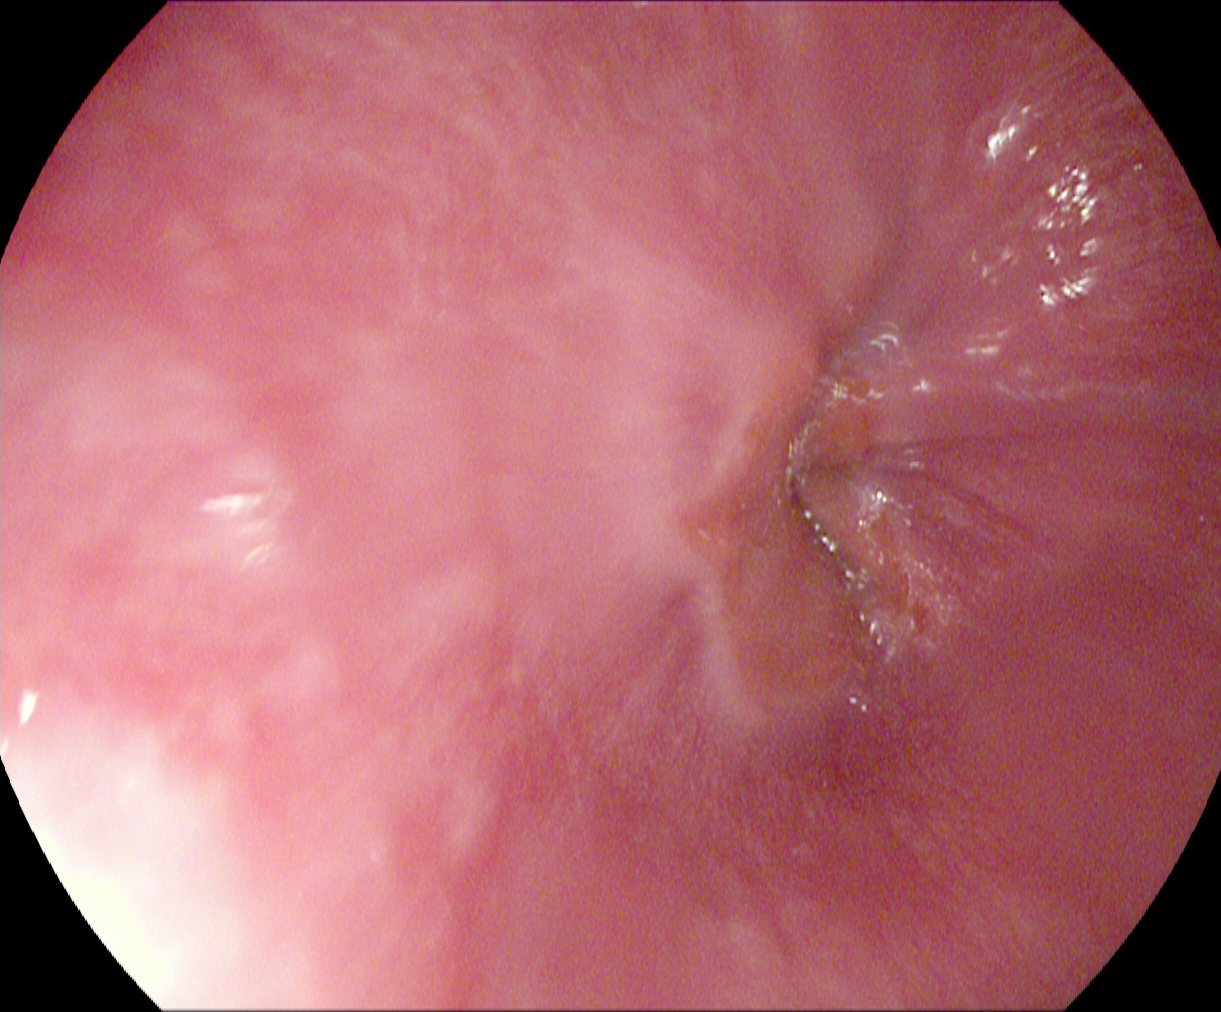Esophagogastroduodenoscopy — Z-line (gastroesophageal junction).